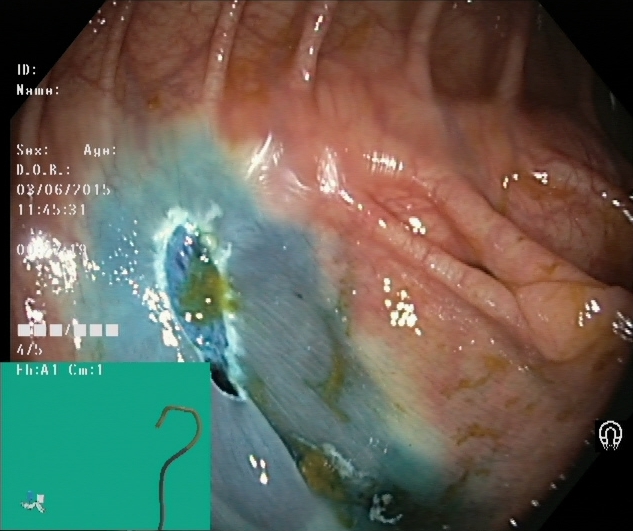Lower-GI endoscopy — dyed resection margins (post-polypectomy).